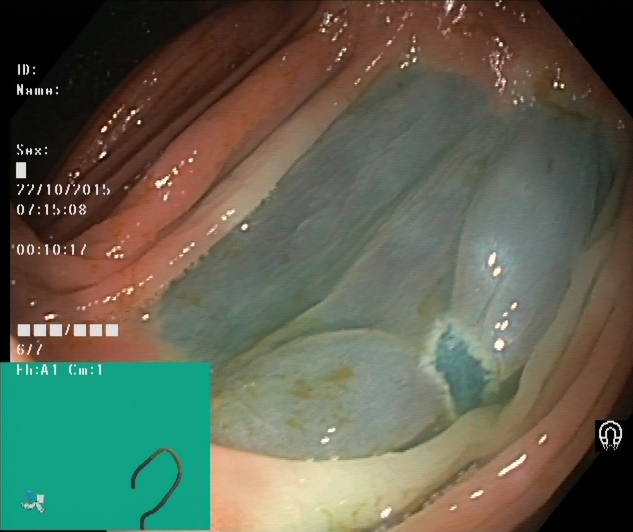Lower gastrointestinal endoscopy. Tract: lower GI tract. Therapeutic intervention. Finding: dyed resection margins (post-polypectomy).